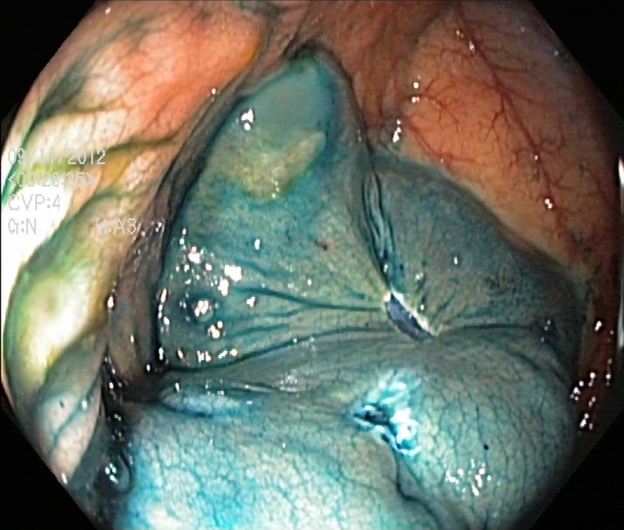GI endoscopy image showing dyed resection margins (post-polypectomy).